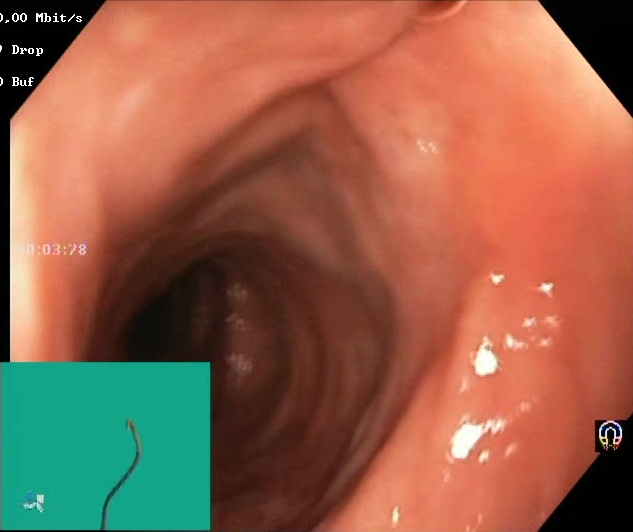Boston Bowel Preparation Scale score 2–3 (adequate preparation).